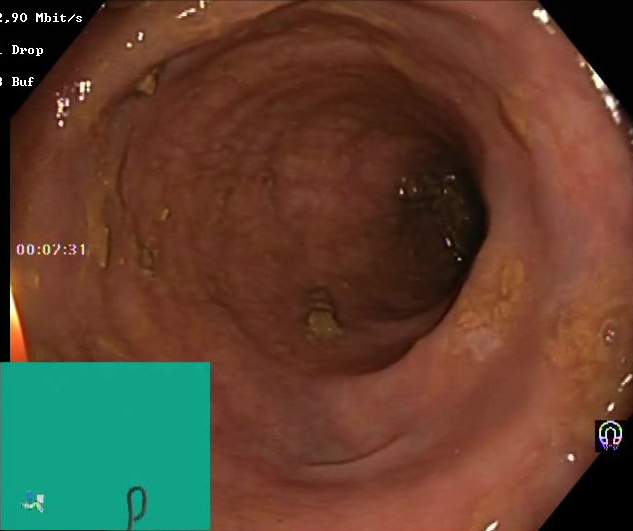Boston Bowel Preparation Scale score 2–3 (adequate preparation).